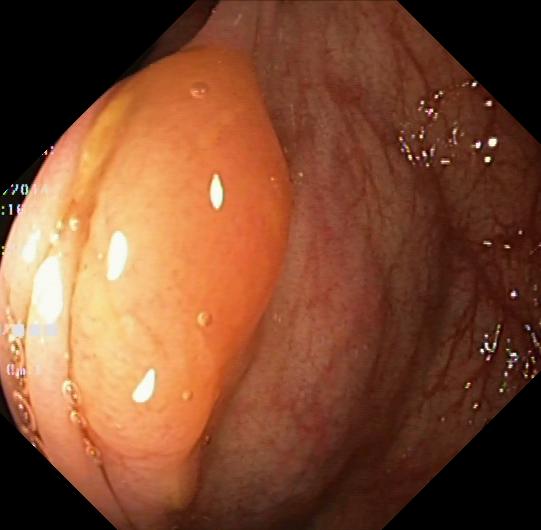modality: lower-GI endoscopy
tract: lower GI tract
finding: colorectal polyp(s)